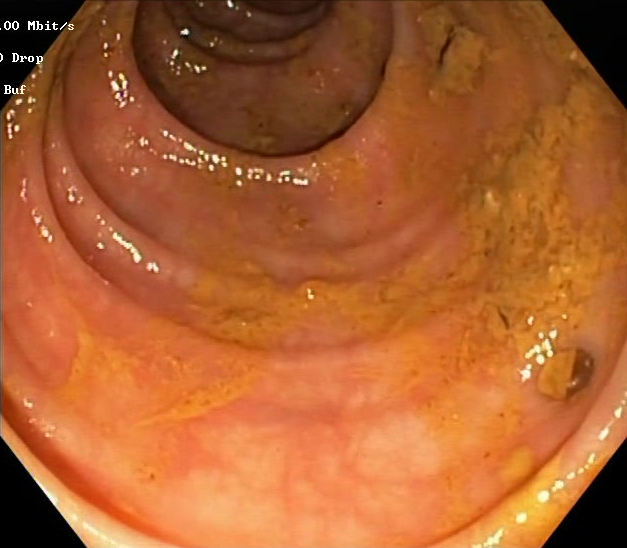PROCEDURE: Colonoscopy.
CATEGORY: Mucosal-view quality.
FINDINGS: Boston Bowel Preparation Scale score 0–1 (inadequate preparation).